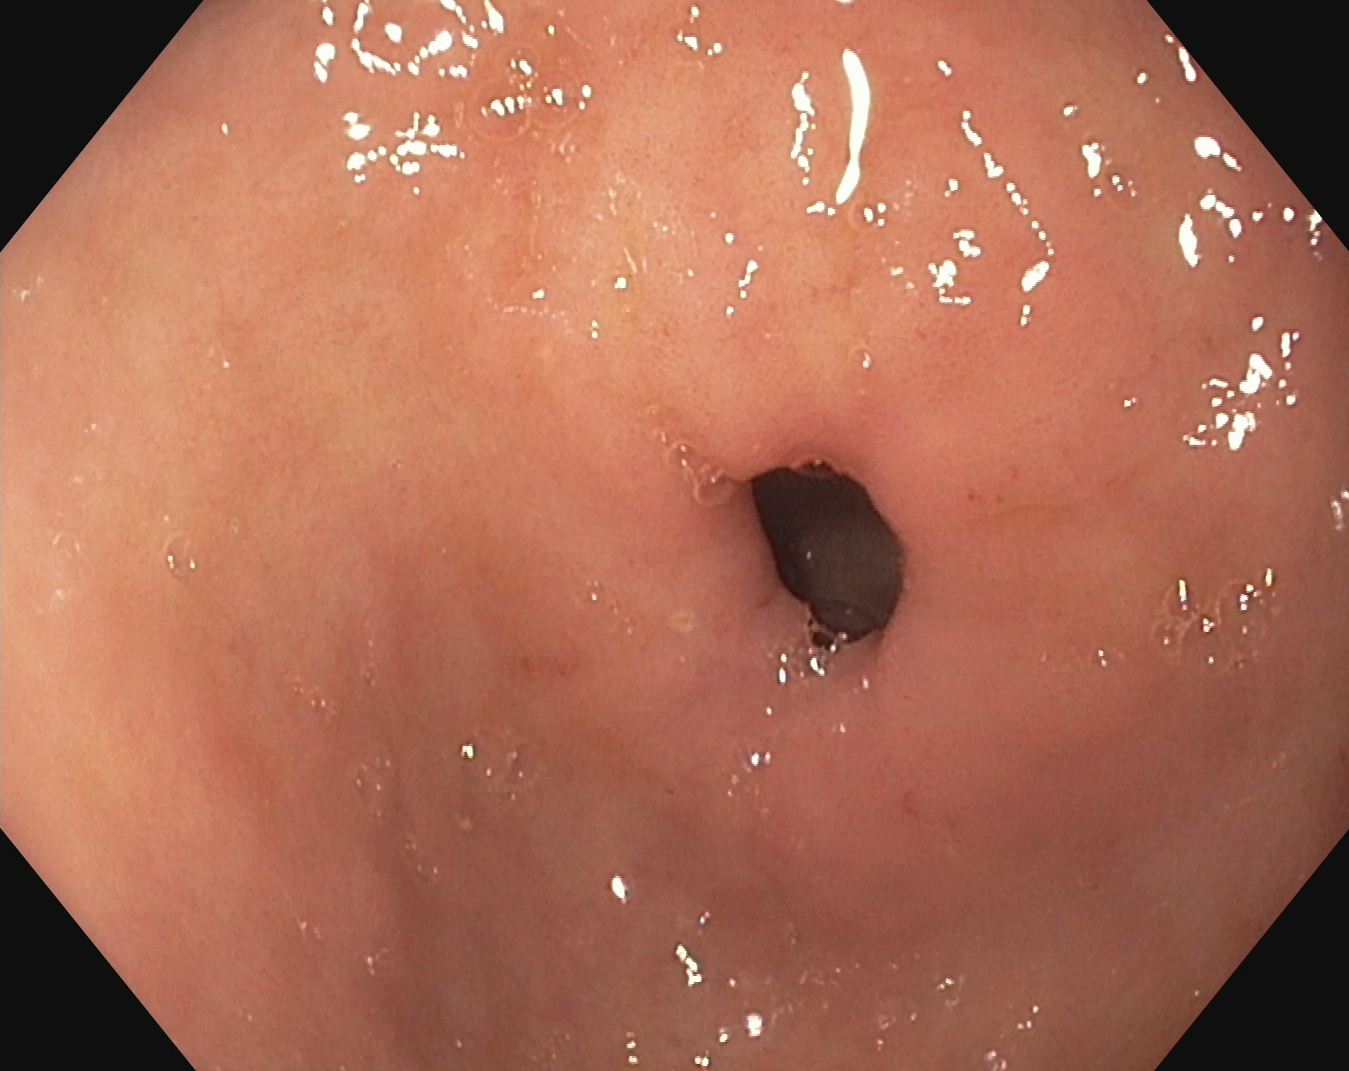PROCEDURE: Upper-GI endoscopy.
CATEGORY: Anatomical landmark.
FINDINGS: Pylorus.